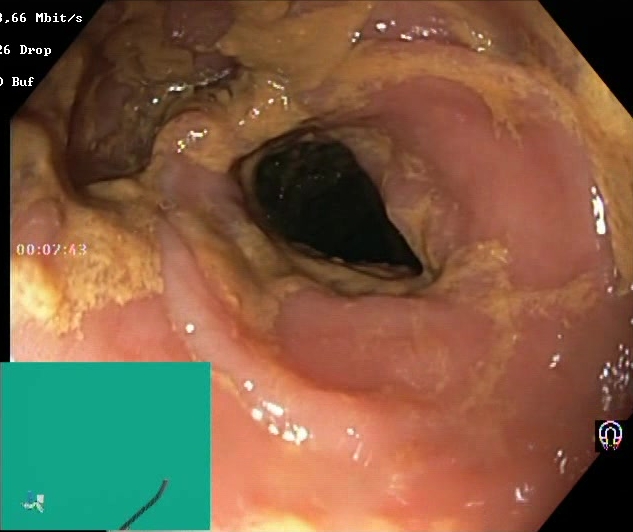This endoscopic image shows BBPS score 0–1 (inadequate preparation).